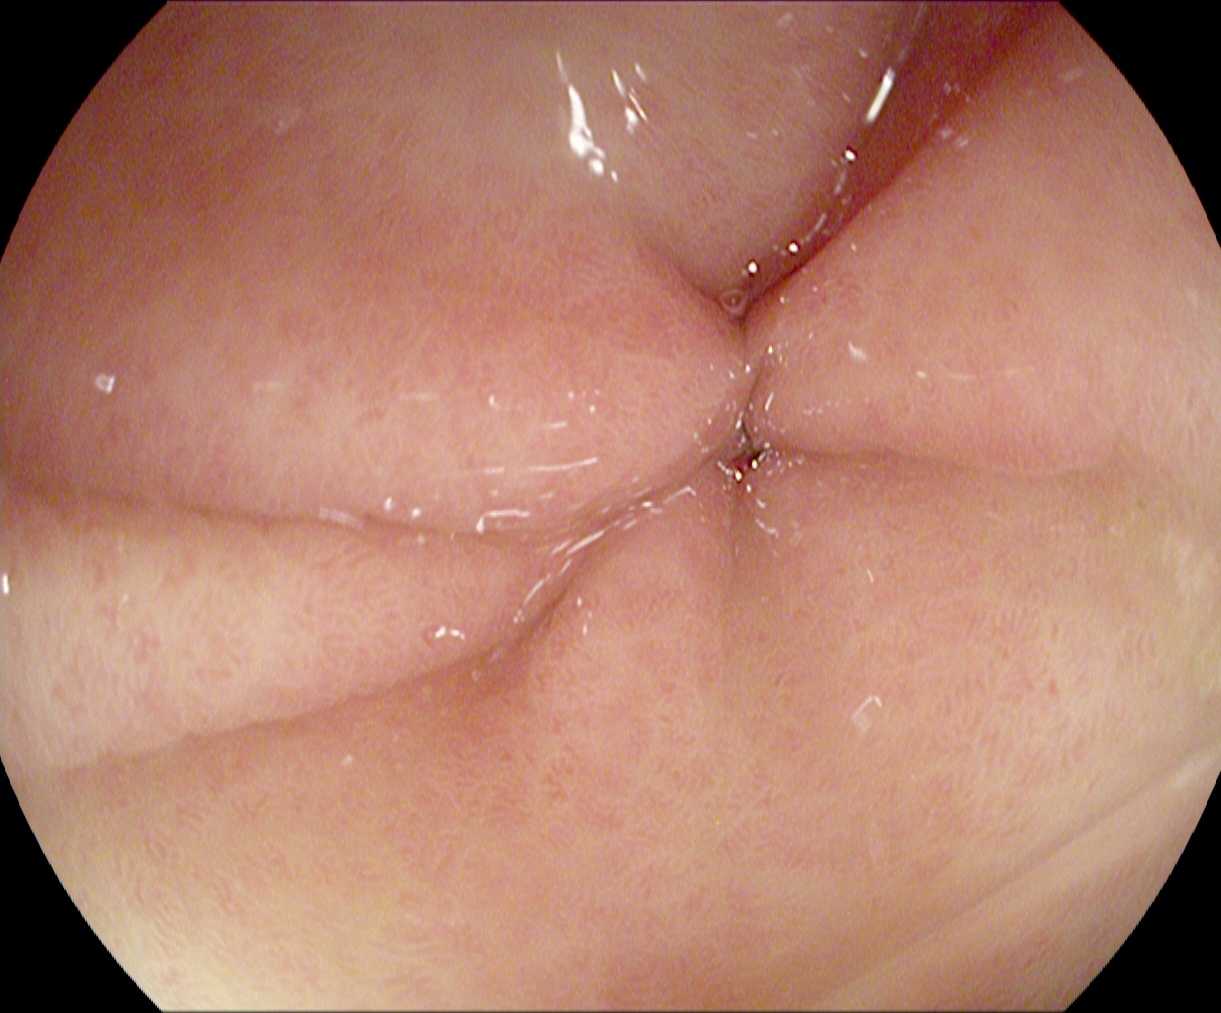Pylorus.